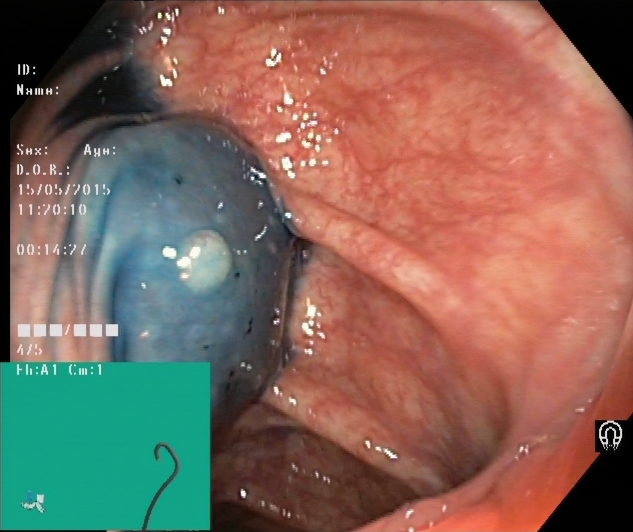modality: lower gastrointestinal endoscopy; category: therapeutic intervention; finding: dyed and lifted polyp (pre-resection)